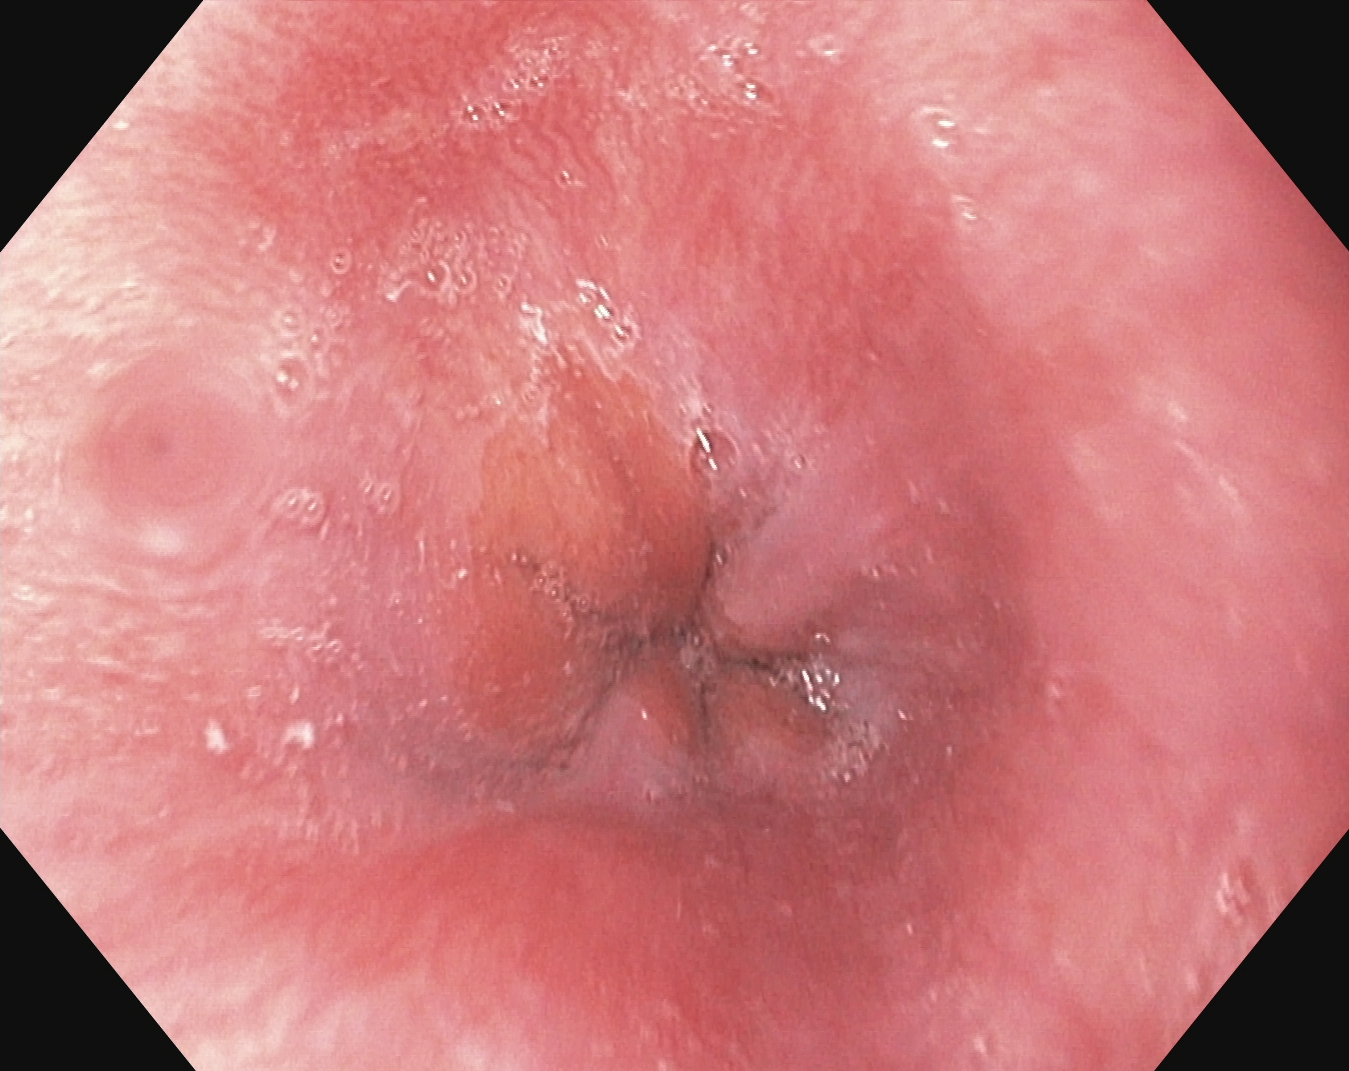Esophagogastroduodenoscopy. Finding: Z-line (gastroesophageal junction).